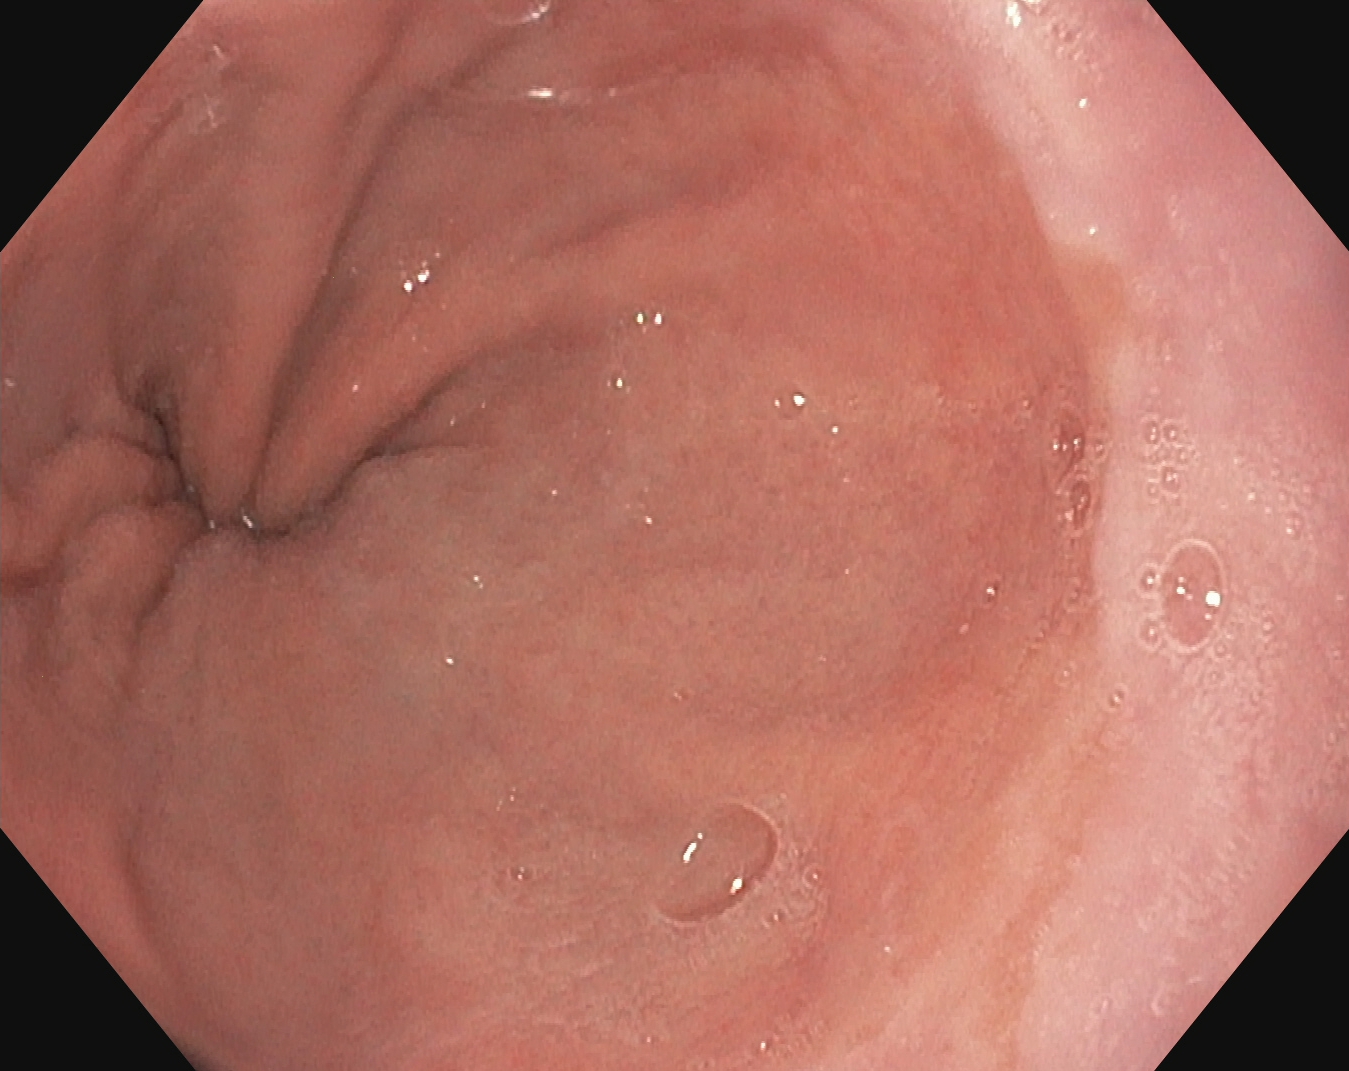Upper-GI endoscopy. Tract: upper GI tract. Finding: Z-line (gastroesophageal junction).